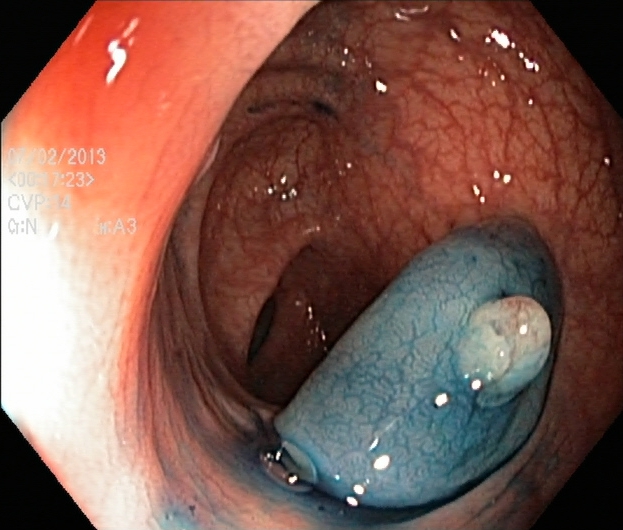PROCEDURE: Lower-GI endoscopy.
CATEGORY: Therapeutic intervention.
FINDINGS: Dyed and lifted polyp (pre-resection).